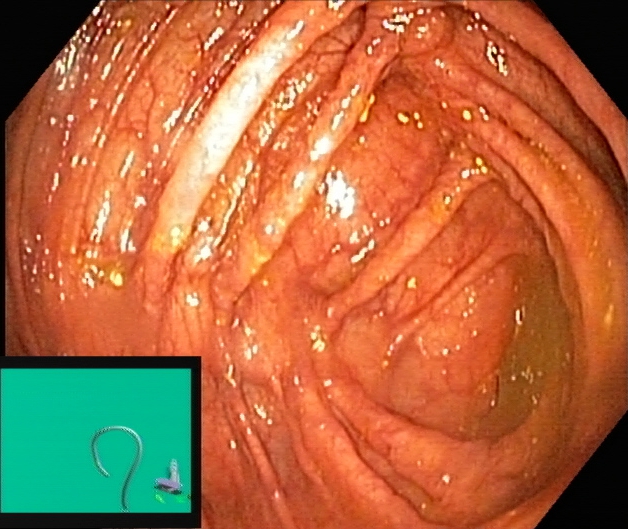This endoscopy frame of the lower GI tract shows cecum.